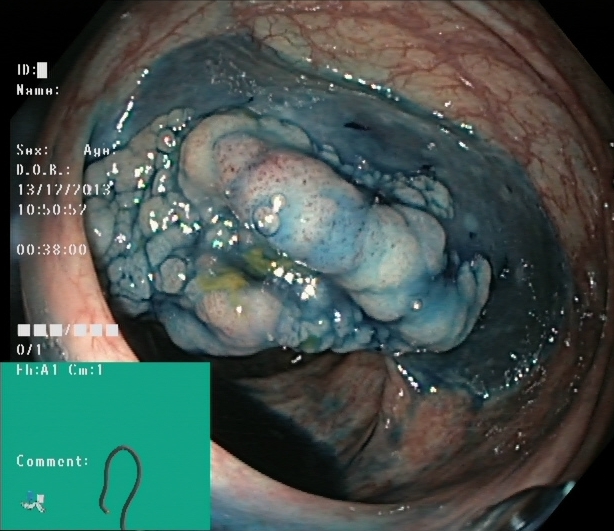Colonoscopy. Tract: lower GI tract. Finding: dyed and lifted polyp (pre-resection).